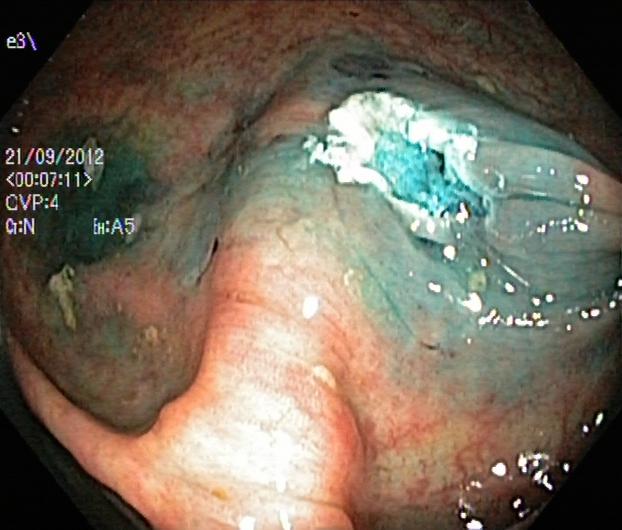Dyed resection margins (post-polypectomy).